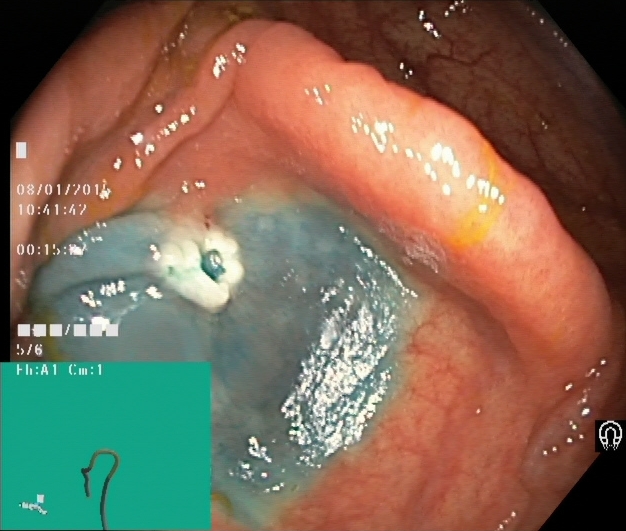{"modality": "colonoscopy", "tract": "lower GI tract", "finding": "dyed resection margins (post-polypectomy)"}